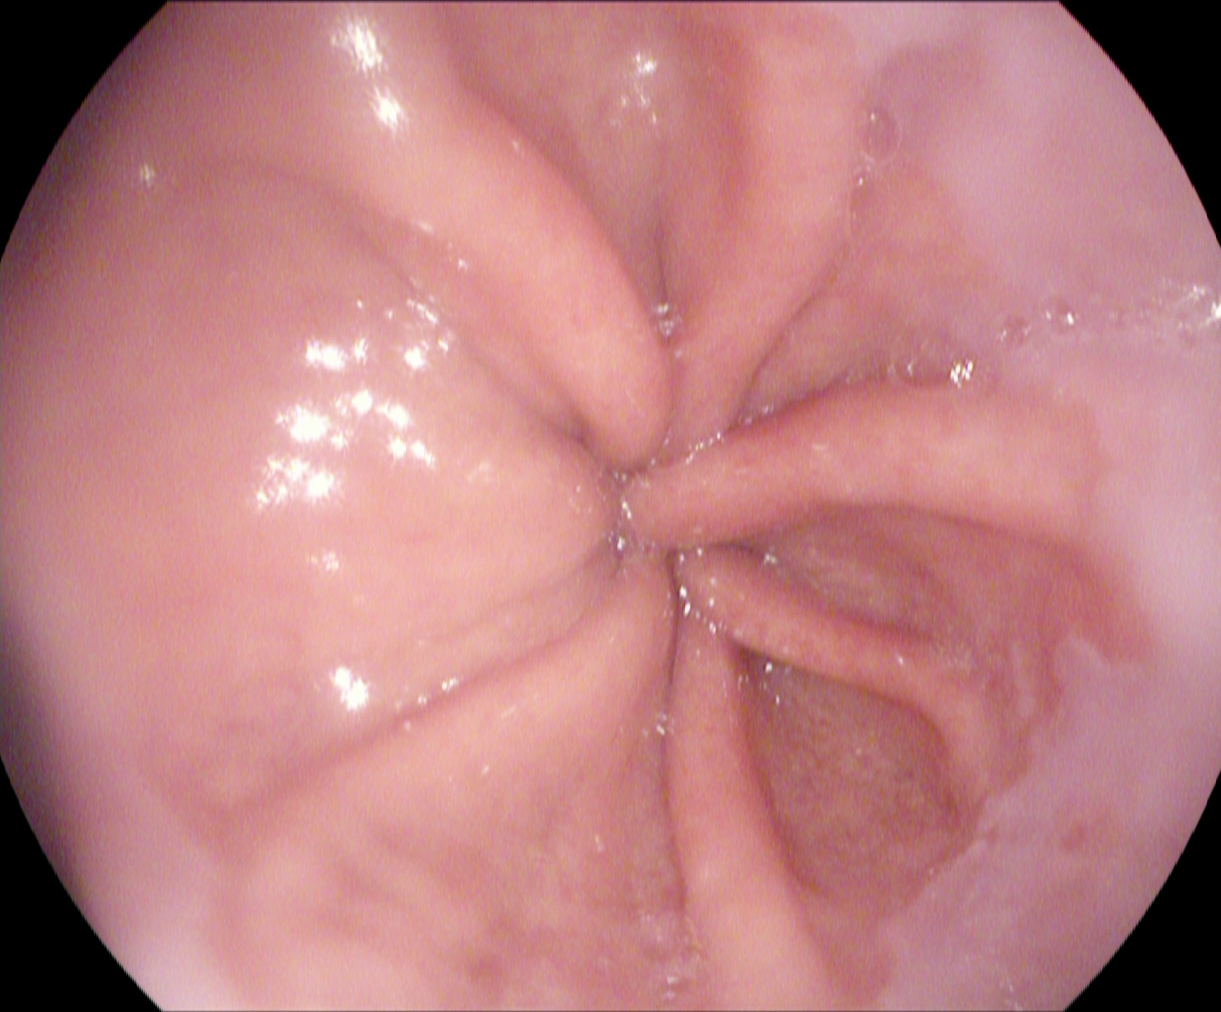Gastroscopy. Tract: upper GI tract. Finding: Z-line (gastroesophageal junction).